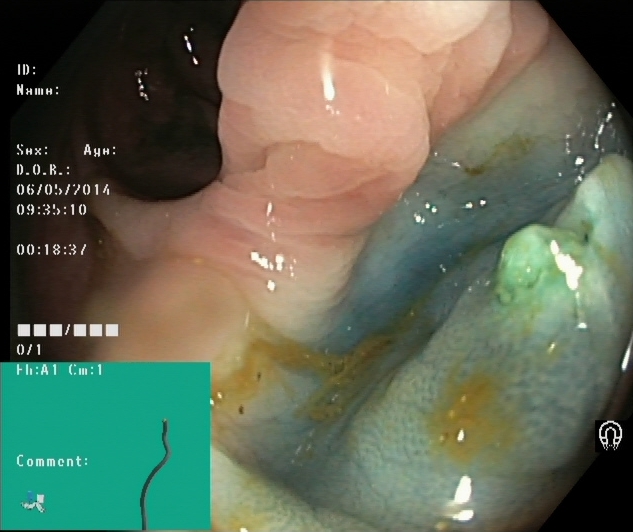PROCEDURE: Lower-GI endoscopy.
CATEGORY: Therapeutic intervention.
FINDINGS: Dyed resection margins (post-polypectomy).